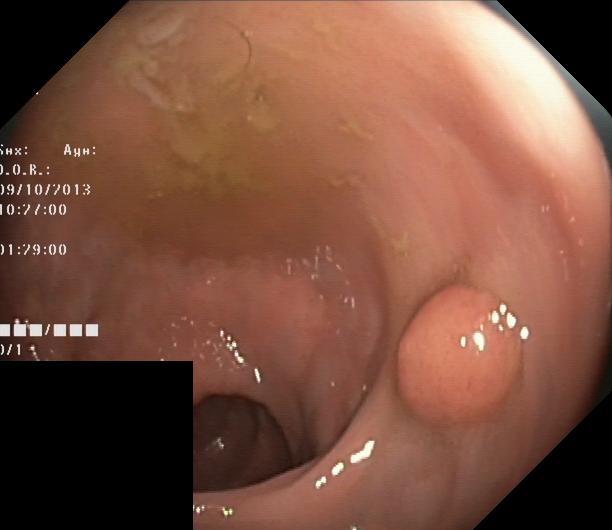Colonoscopy — colorectal polyp(s).